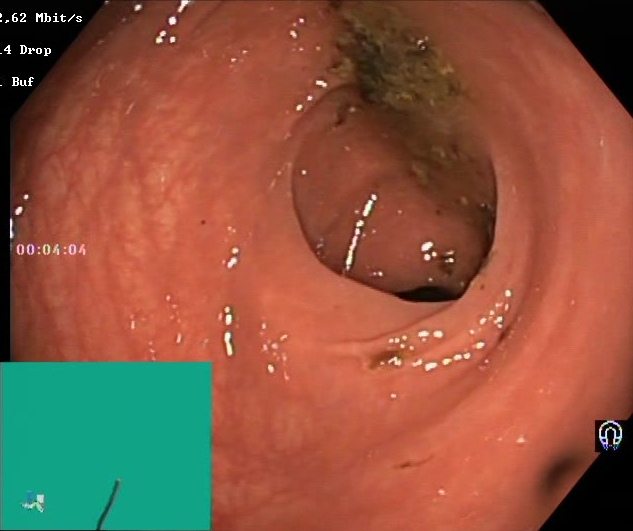{"modality": "lower gastrointestinal endoscopy", "tract": "lower GI tract", "category": "mucosal-view quality", "finding": "BBPS score 0\u20131 (inadequate preparation)"}